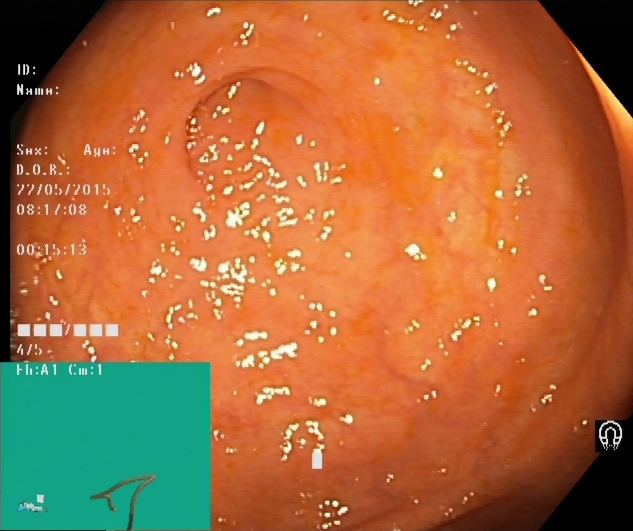{"modality": "lower-GI endoscopy", "tract": "lower GI tract", "category": "anatomical landmark", "finding": "cecum"}